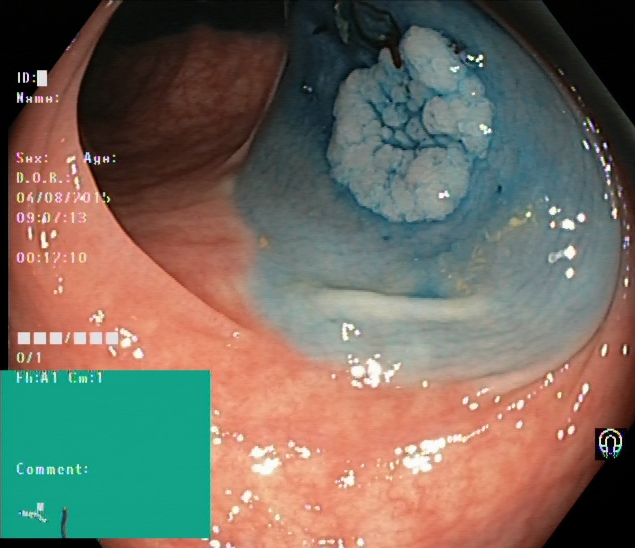Colonoscopy. Tract: lower GI tract. Finding: dyed and lifted polyp (pre-resection).